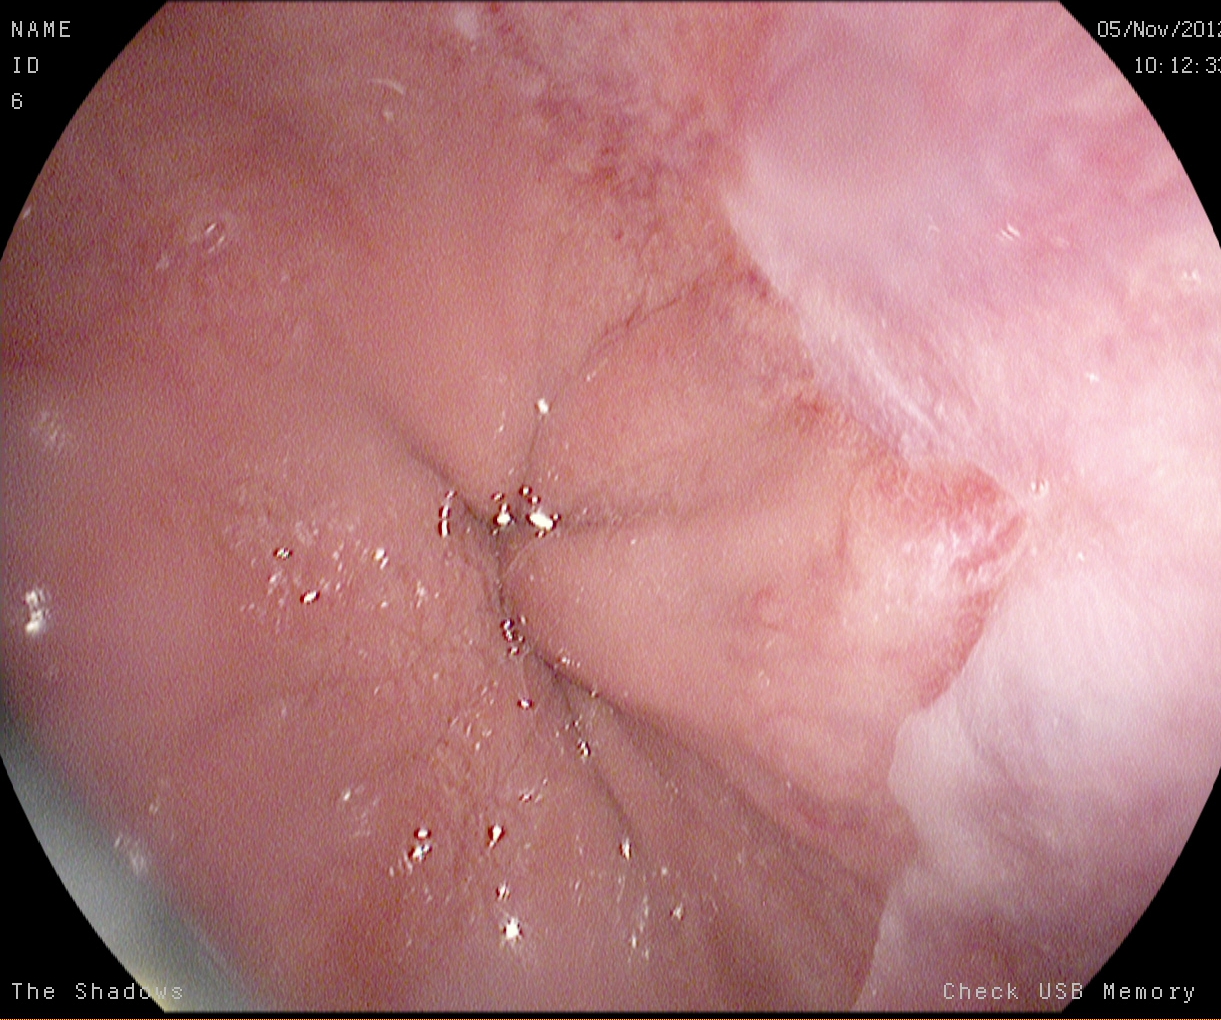Esophagogastroduodenoscopy. Tract: upper GI tract. Pathological finding. Finding: reflux esophagitis, LA grade A.